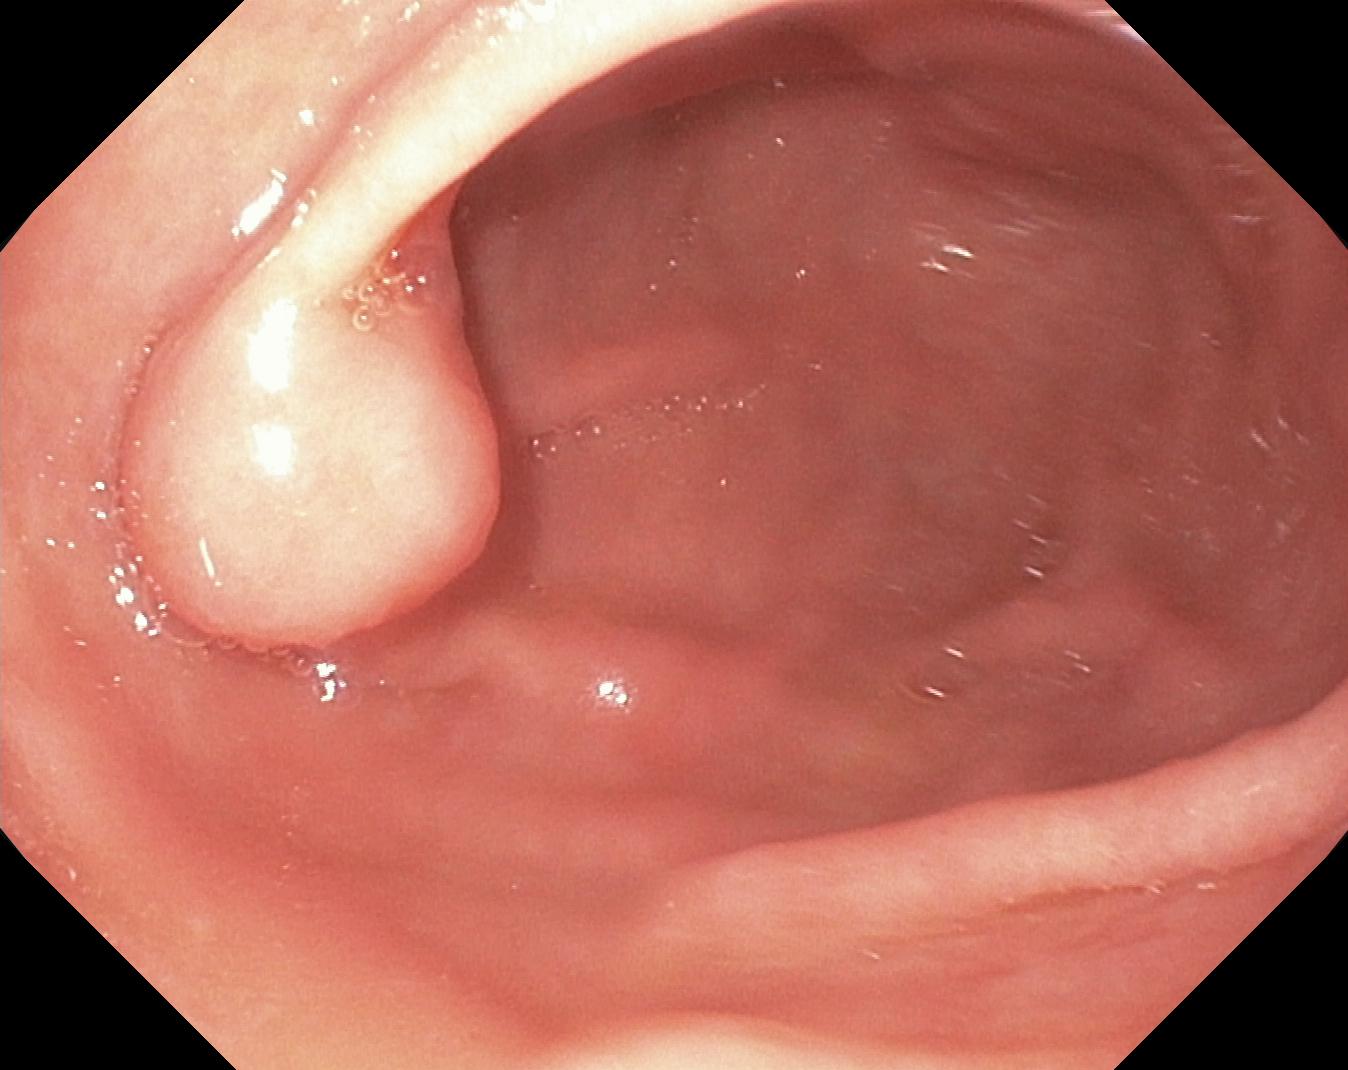modality: colonoscopy; category: pathological finding; finding: colorectal polyp(s)